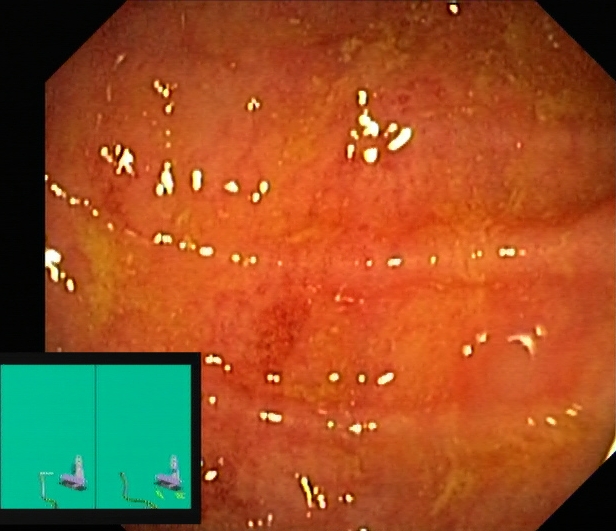PROCEDURE: Colonoscopy.
FINDINGS: UC, Mayo endoscopic subscore 1.